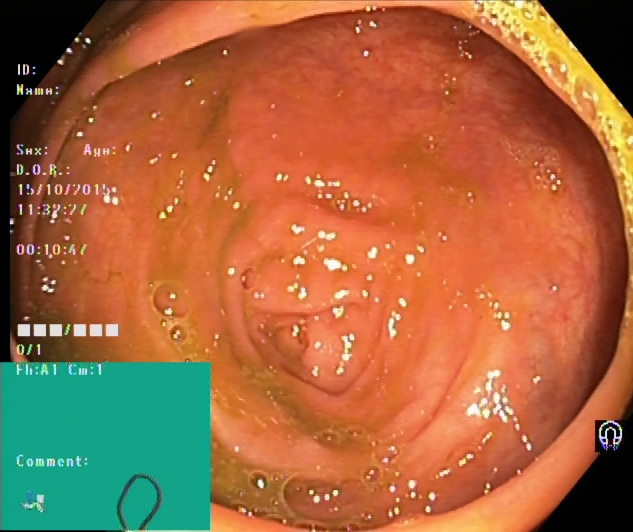This endoscopy frame of the lower GI tract shows cecum.